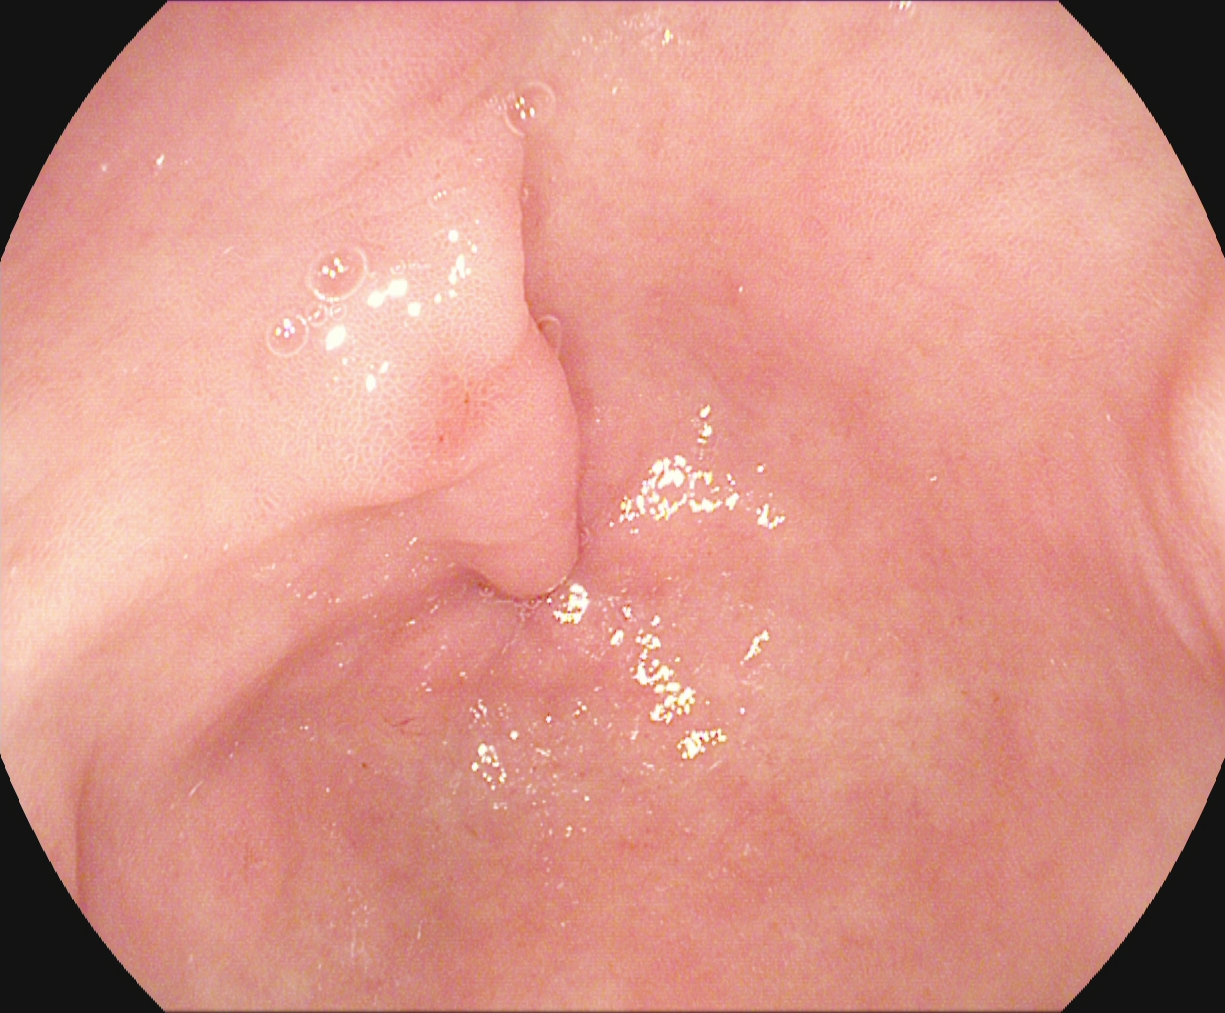pylorus.